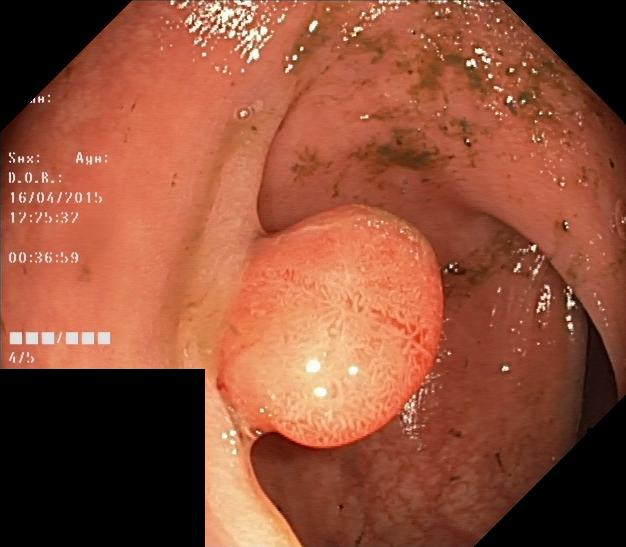{"modality": "lower gastrointestinal endoscopy", "finding": "colorectal polyp(s)"}